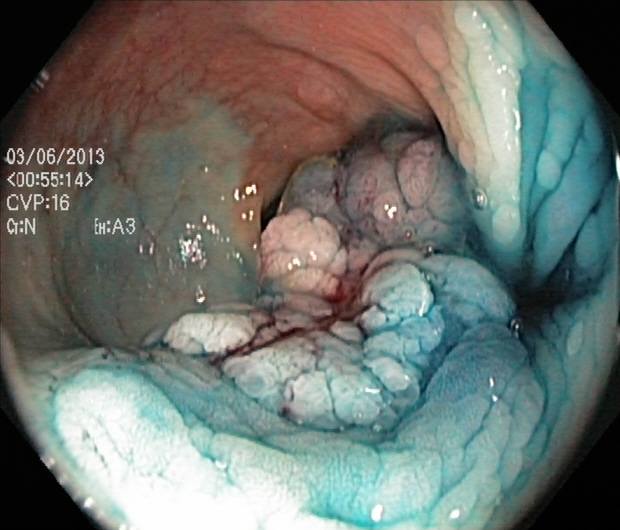dyed and lifted polyp (pre-resection).